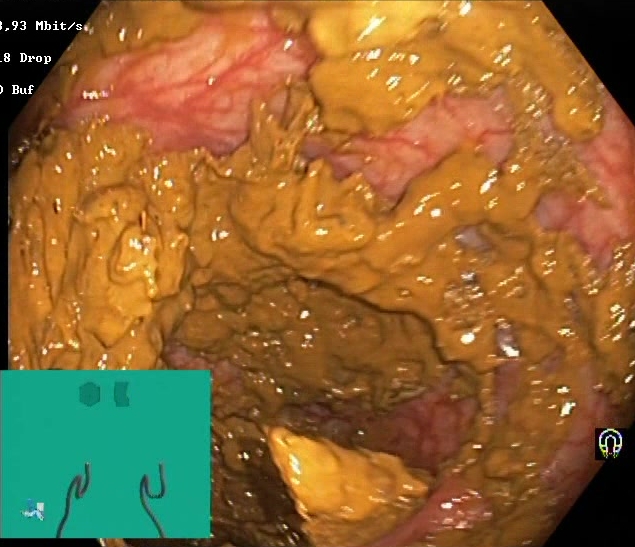Lower gastrointestinal endoscopy. Tract: lower GI tract. Finding: Boston Bowel Preparation Scale score 0–1 (inadequate preparation).